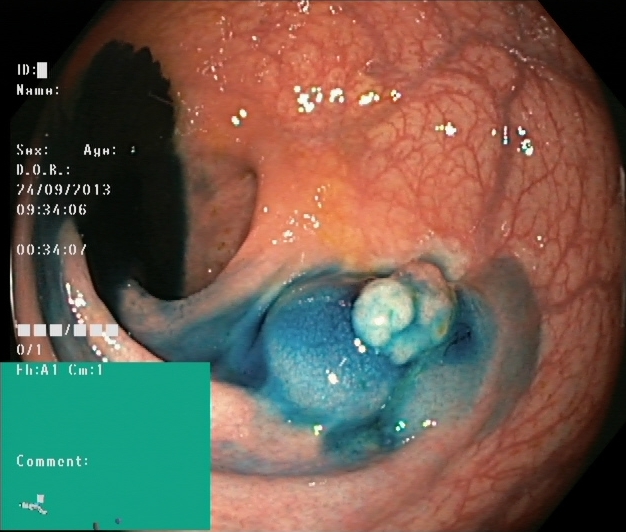Colonoscopy image showing dyed and lifted polyp (pre-resection).